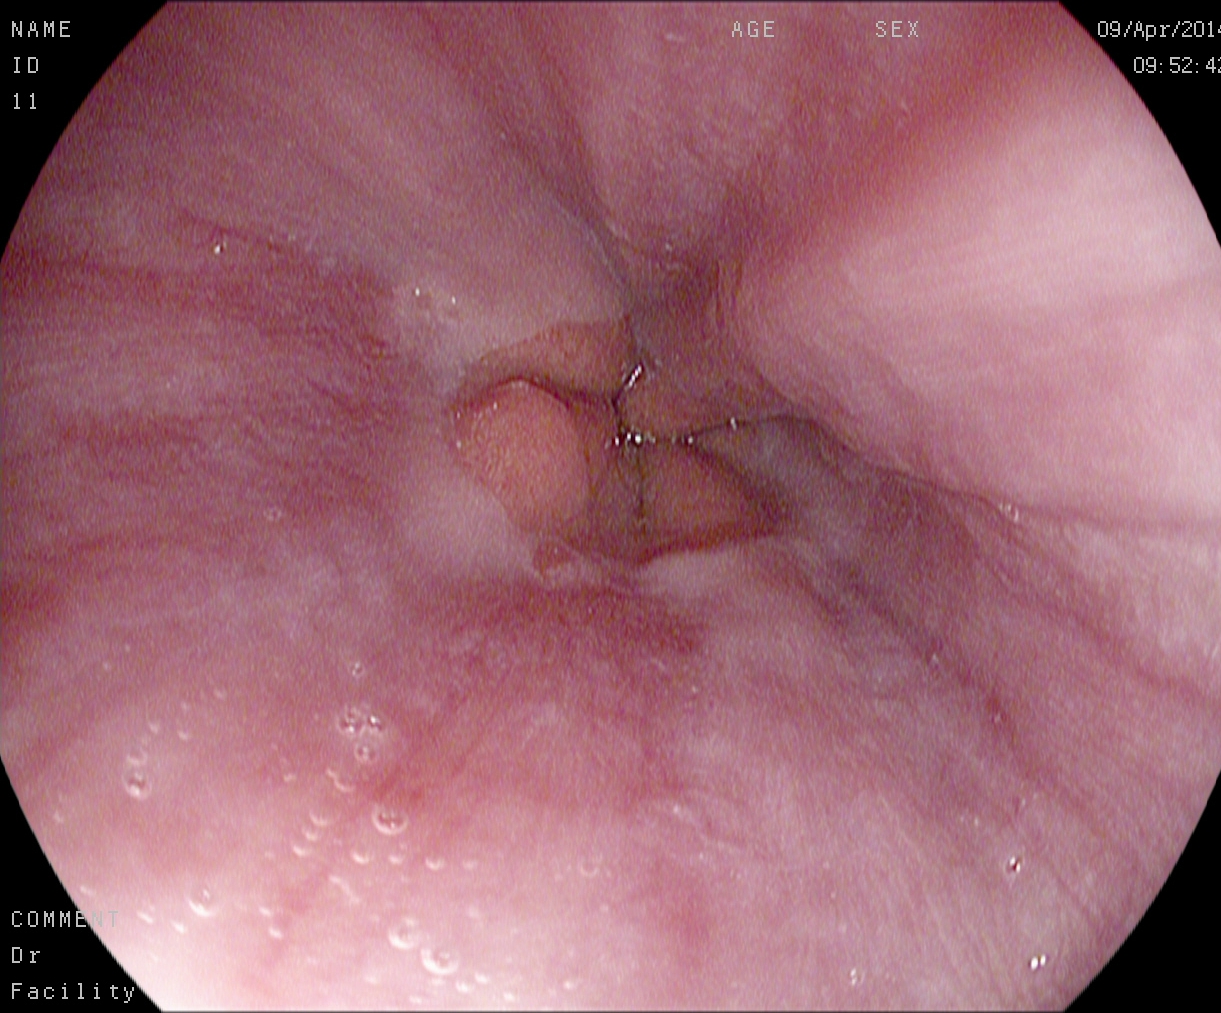modality: upper-GI endoscopy
tract: upper GI tract
finding: Z-line (gastroesophageal junction)